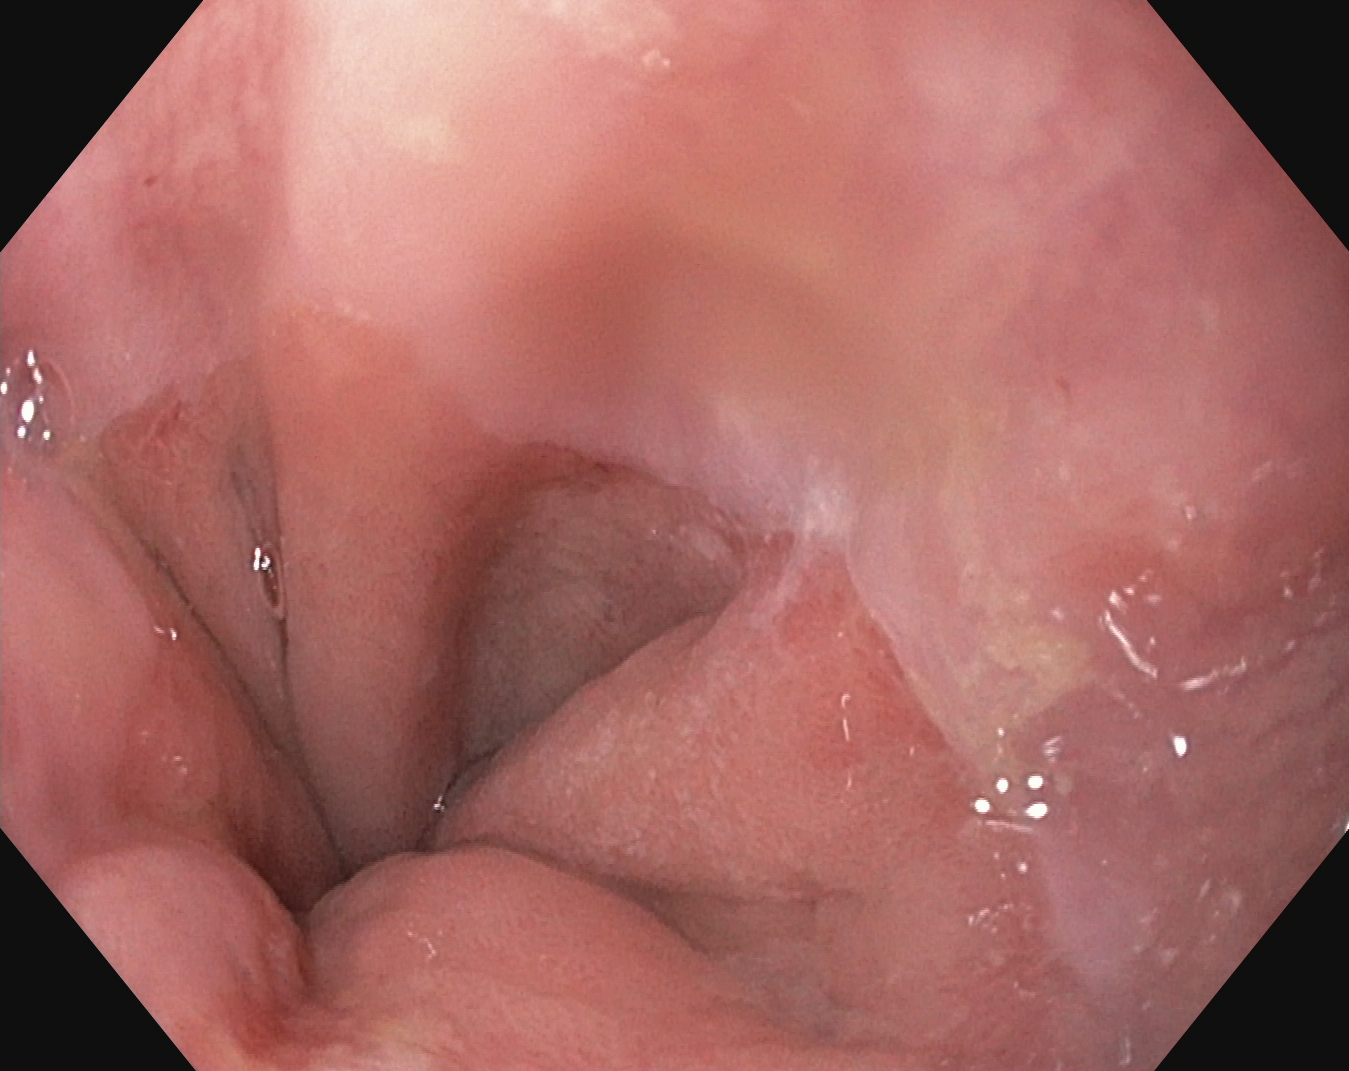Z-line (gastroesophageal junction).